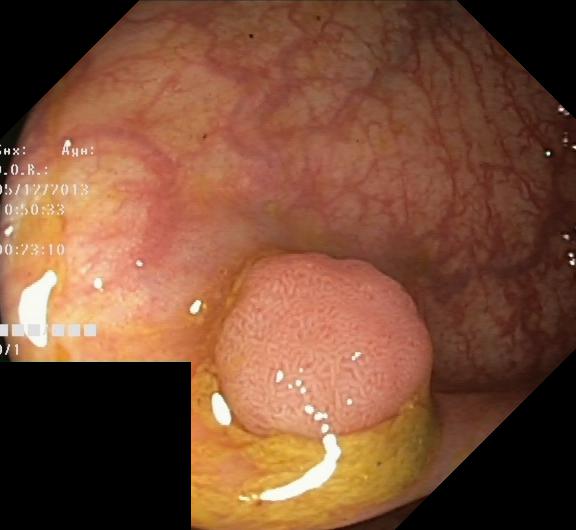This endoscopic image of the lower GI tract shows colorectal polyp(s).